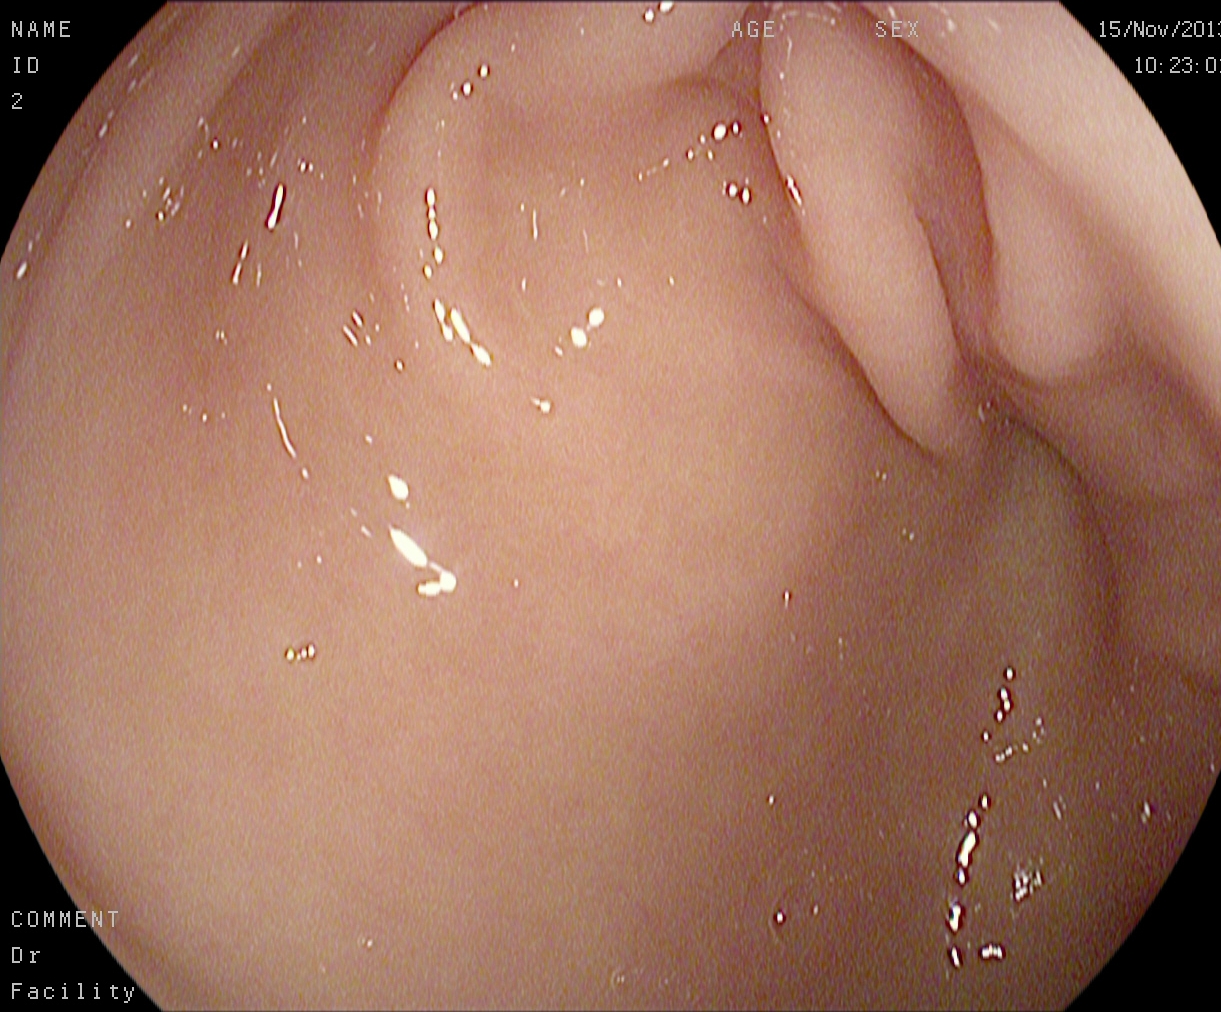PROCEDURE: Upper-GI endoscopy.
FINDINGS: Pylorus.